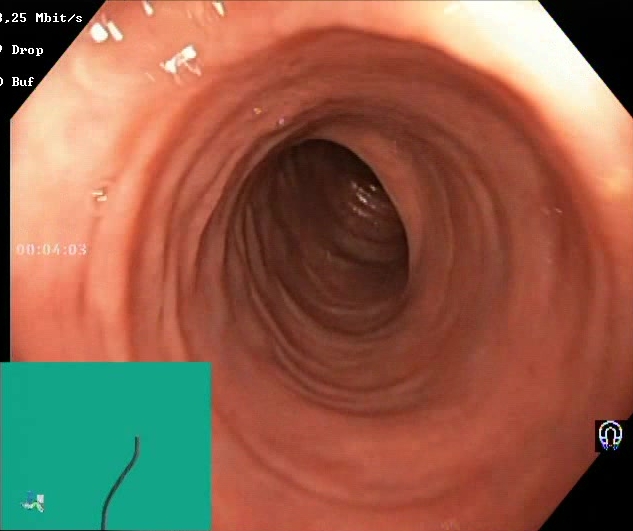Gastrointestinal endoscopy image showing Boston Bowel Preparation Scale score 2–3 (adequate preparation).